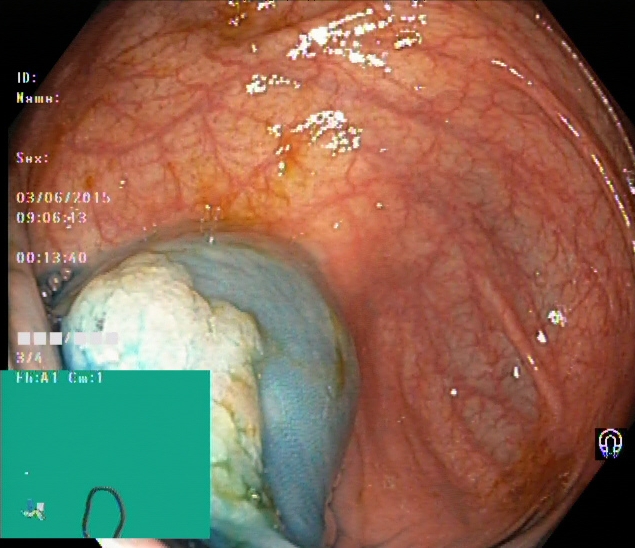modality: lower-GI endoscopy
finding: dyed and lifted polyp (pre-resection)